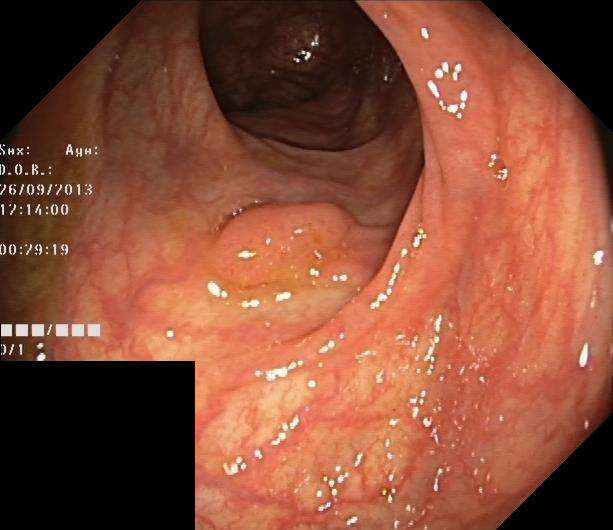{"modality": "lower-GI endoscopy", "tract": "lower GI tract", "finding": "colorectal polyp(s)"}